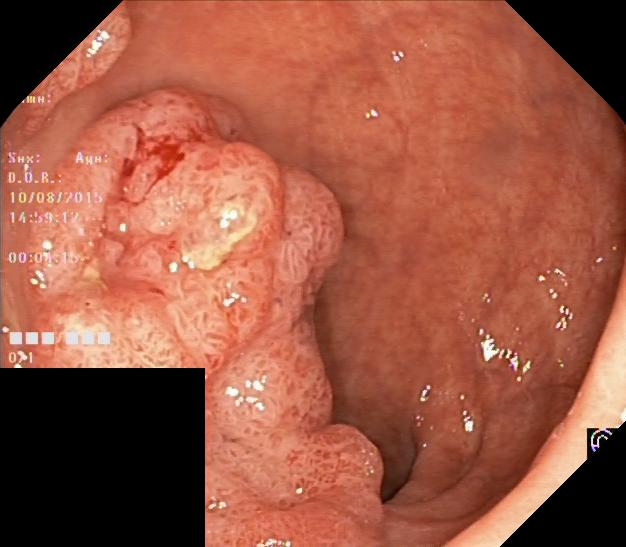This endoscopic image of the lower GI tract shows colorectal polyp(s).